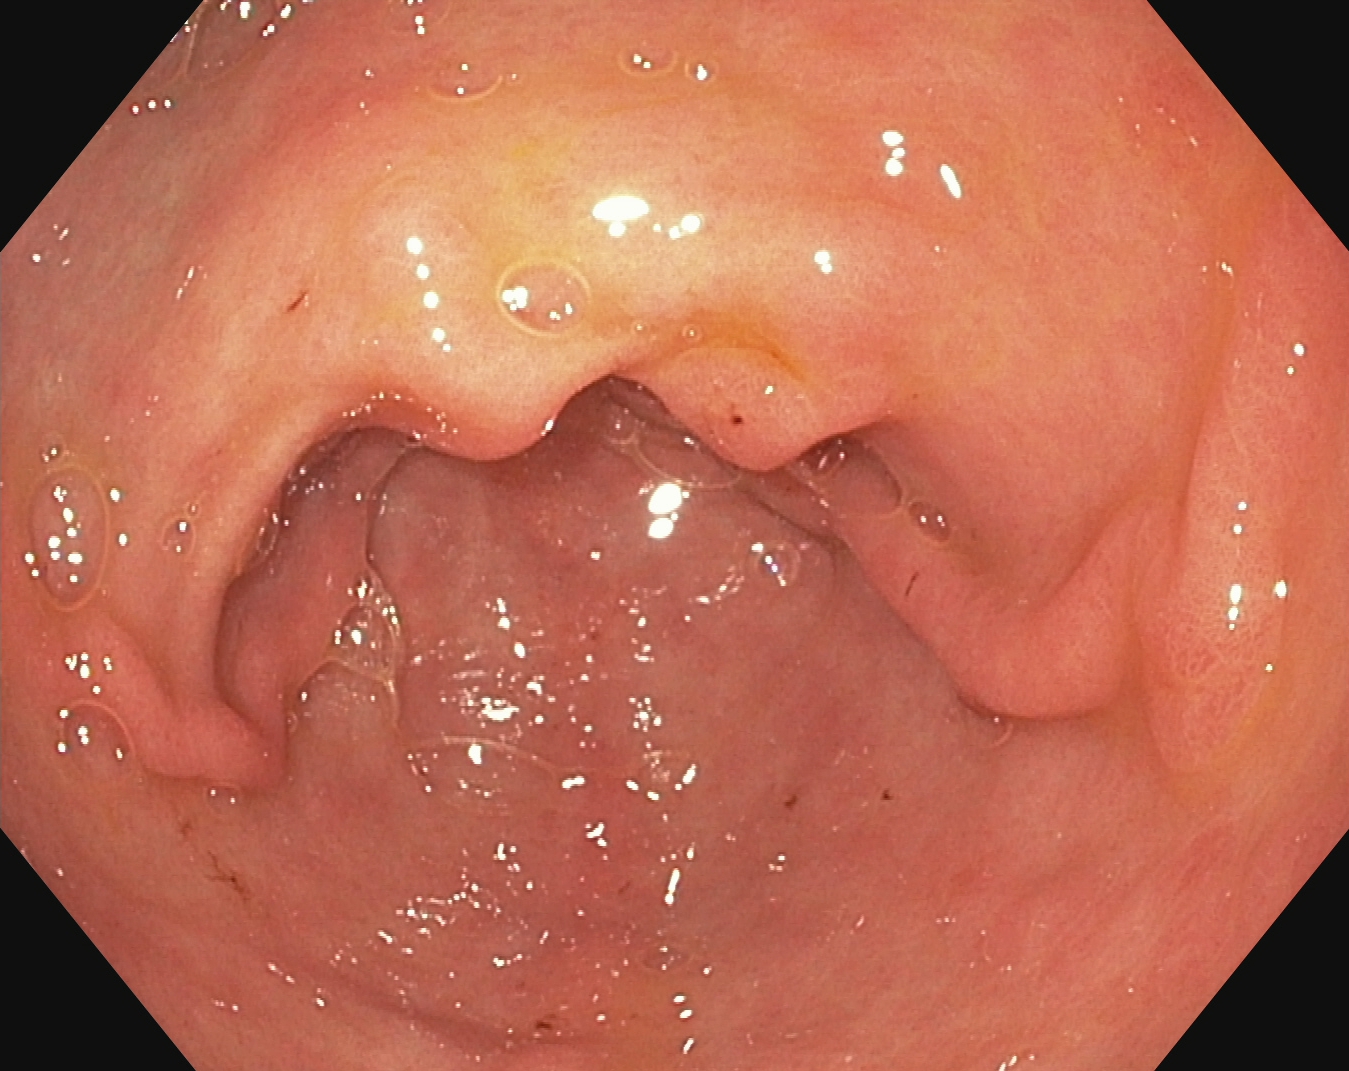modality: esophagogastroduodenoscopy | category: anatomical landmark | finding: pylorus